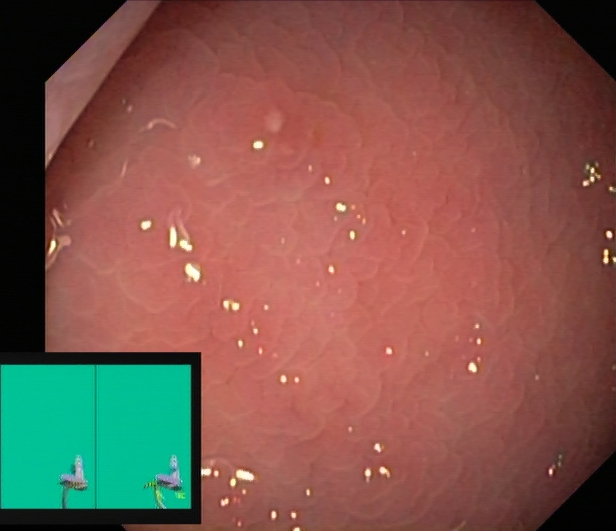Endoscopic frame of the lower GI tract showing ulcerative colitis, Mayo endoscopic subscore 1.